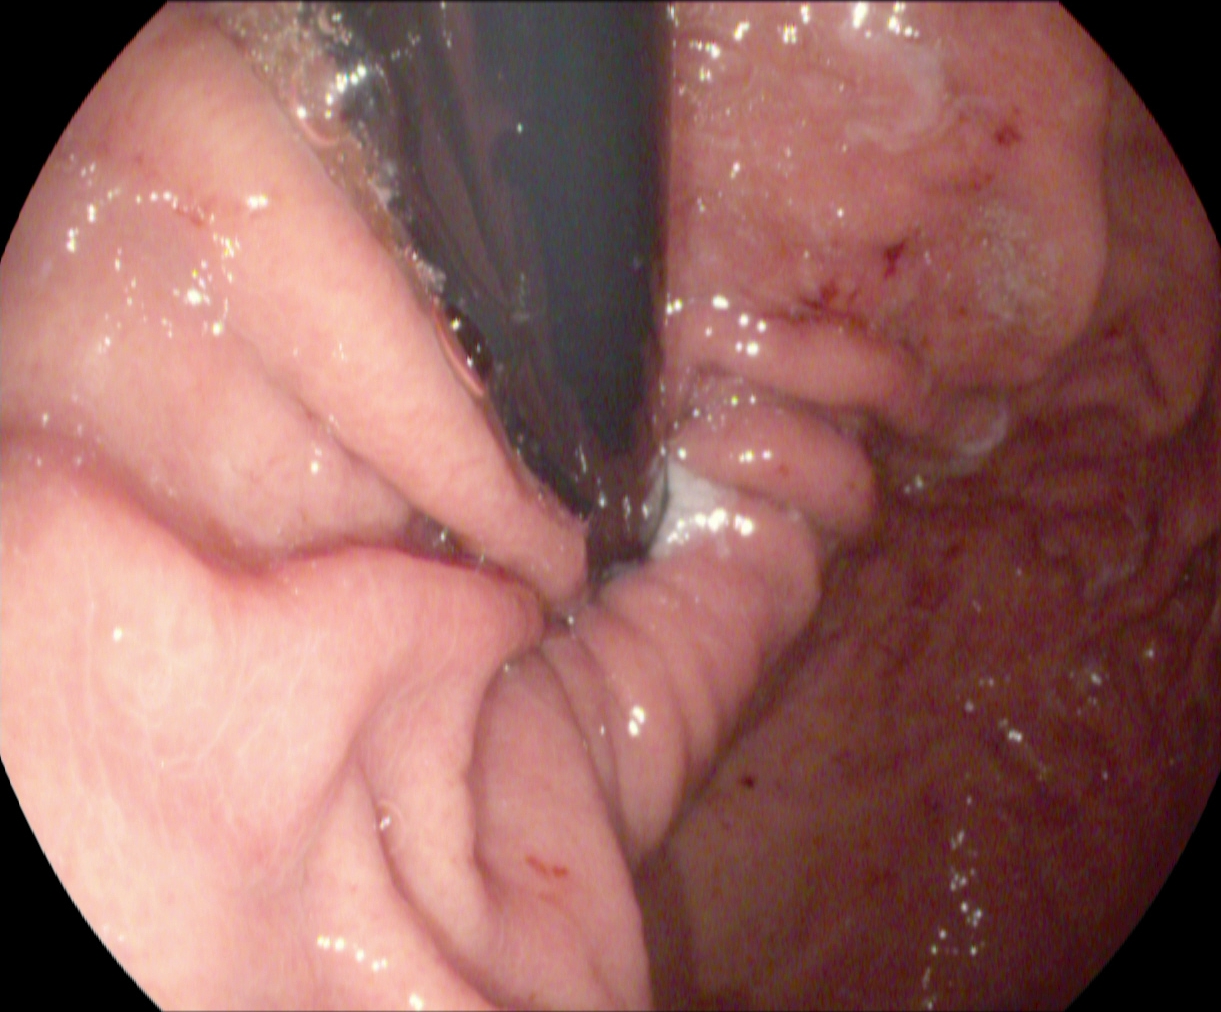Esophagogastroduodenoscopy. Tract: upper GI tract. Anatomical landmark. Finding: stomach in retroflexion.